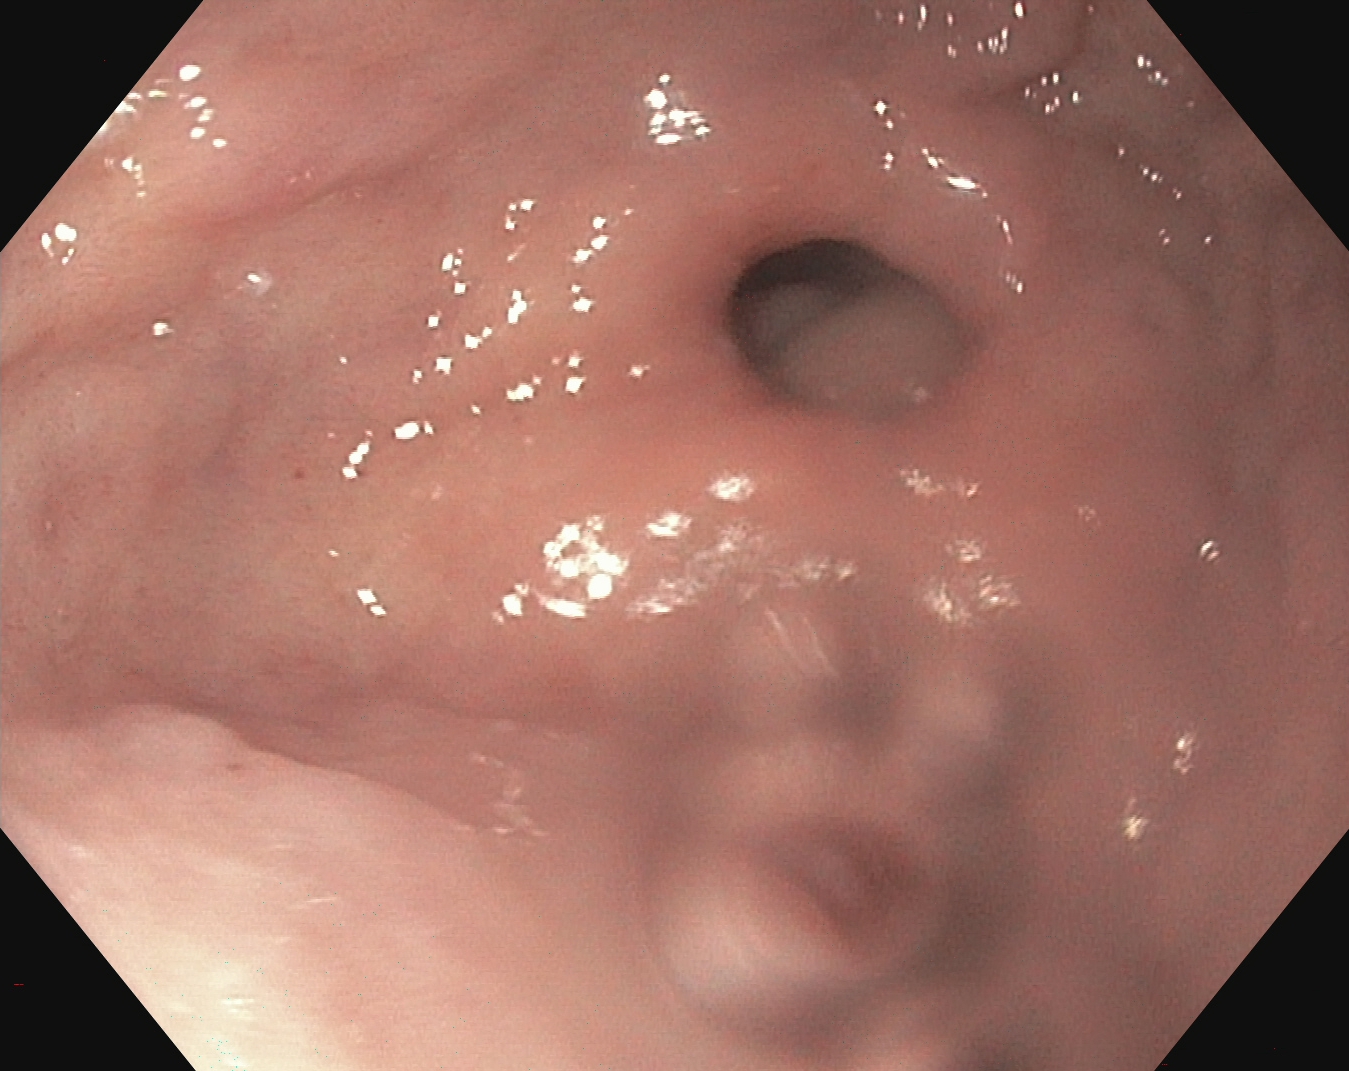modality: EGD | tract: upper GI tract | finding: pylorus